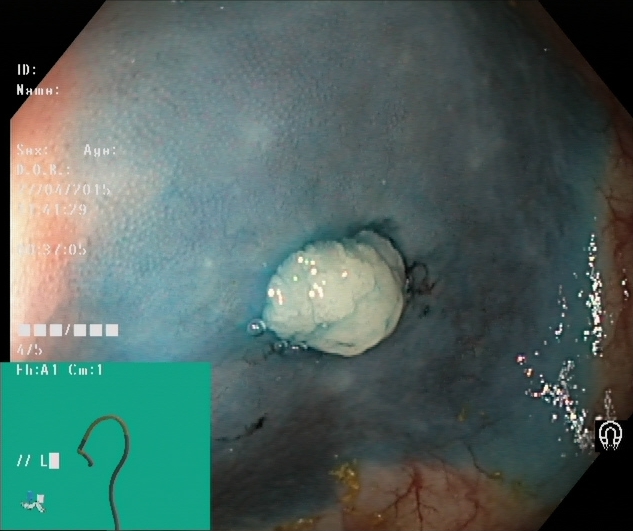modality: colonoscopy; tract: lower GI tract; finding: dyed and lifted polyp (pre-resection)